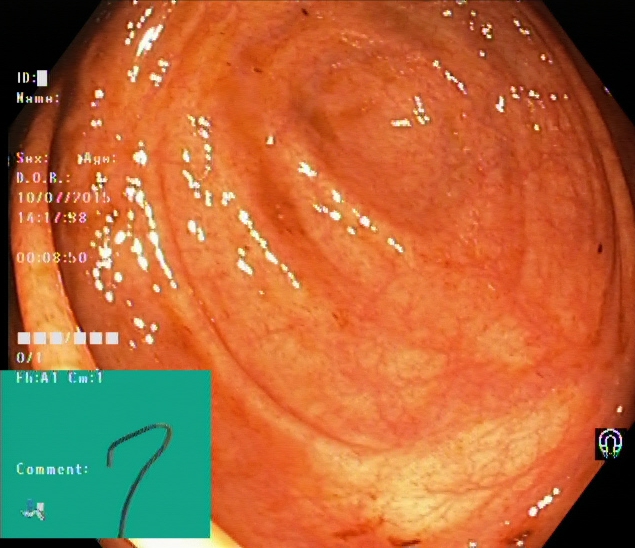This endoscopy frame of the lower GI tract shows cecum.